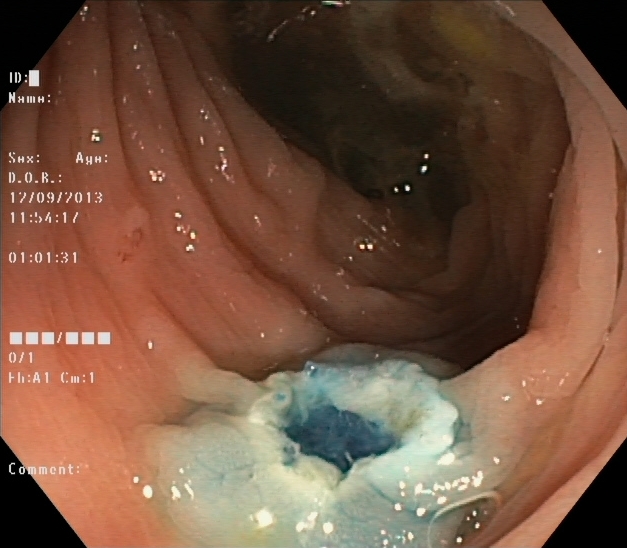{"modality": "colonoscopy", "tract": "lower GI tract", "category": "therapeutic intervention", "finding": "dyed resection margins (post-polypectomy)"}